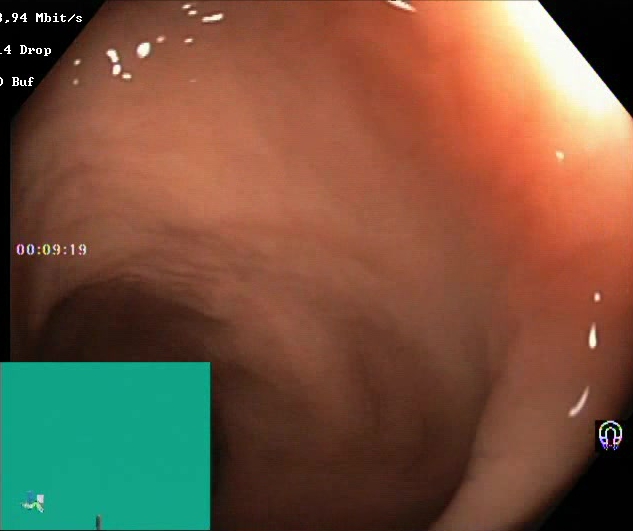Lower gastrointestinal endoscopy. Tract: lower GI tract. Mucosal-view quality. Finding: Boston Bowel Preparation Scale score 2–3 (adequate preparation).